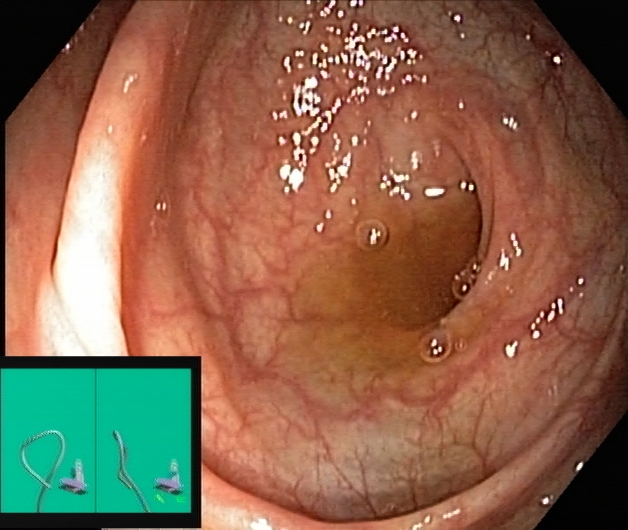Colonoscopy — cecum.